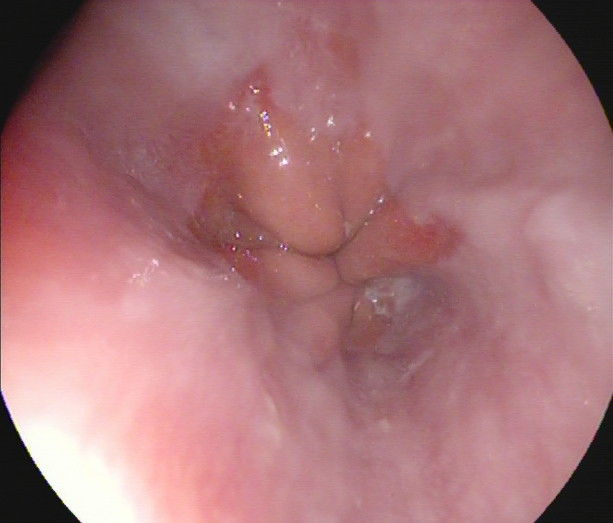Reflux esophagitis, Los Angeles grade A.